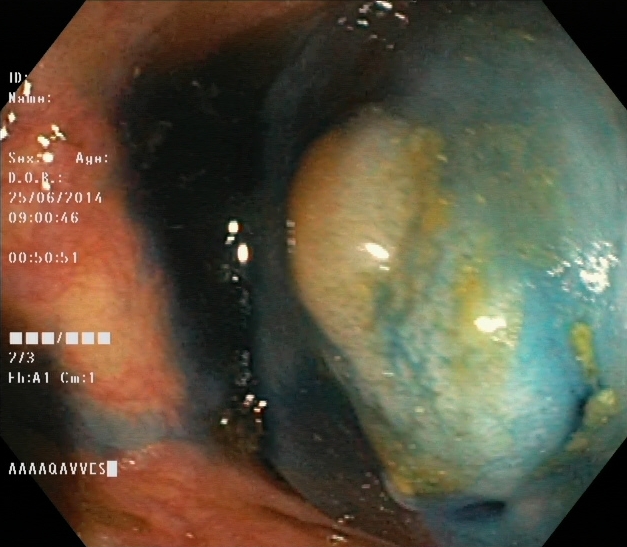PROCEDURE: Colonoscopy.
FINDINGS: Dyed and lifted polyp (pre-resection).